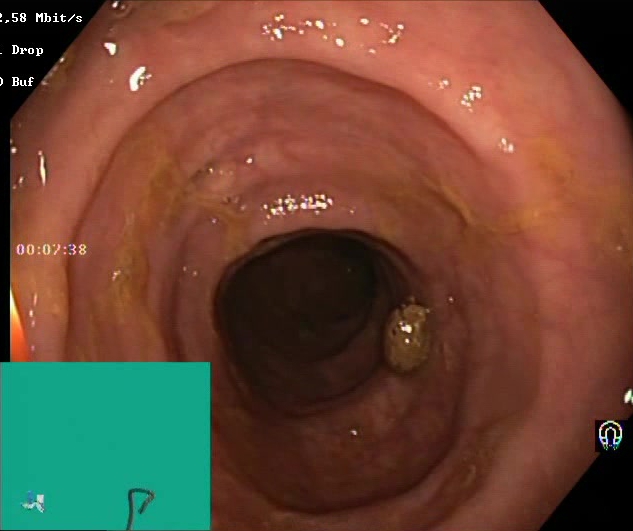Lower-GI endoscopy — Boston Bowel Preparation Scale score 2–3 (adequate preparation).